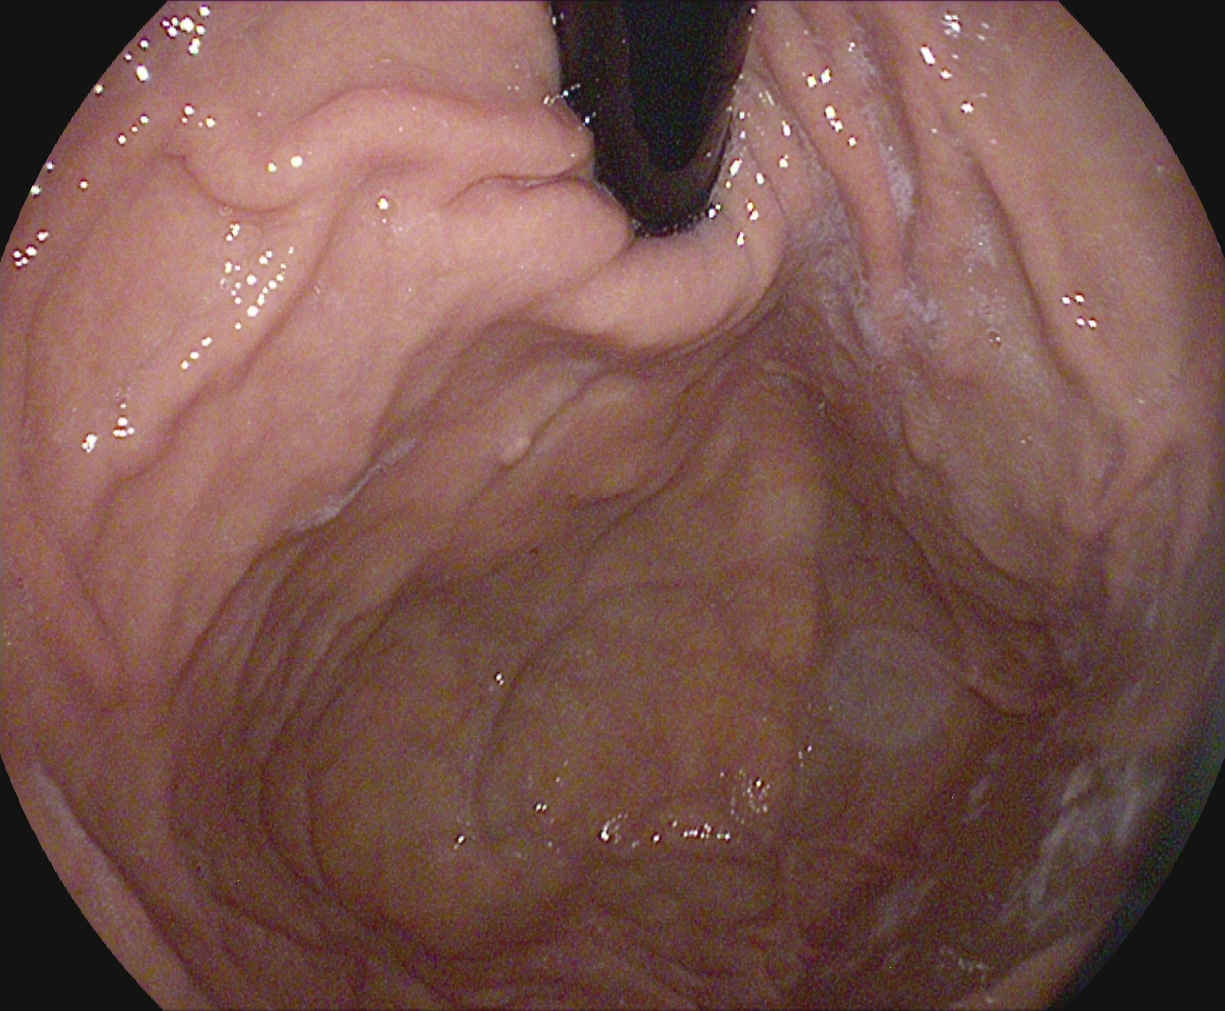Stomach in retroflexion.